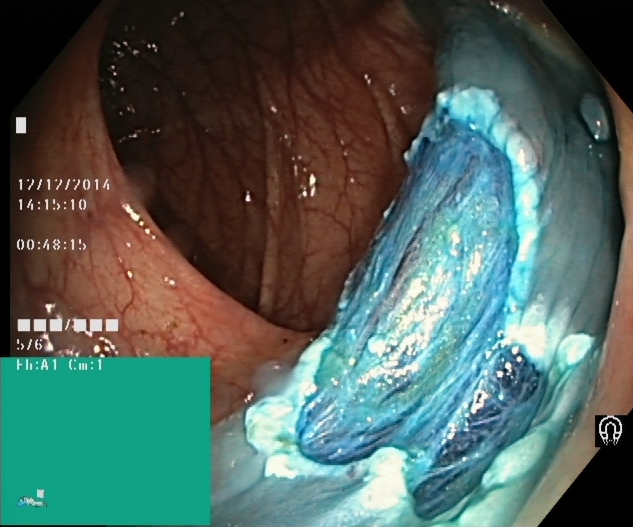PROCEDURE: Lower gastrointestinal endoscopy.
FINDINGS: Dyed resection margins (post-polypectomy).